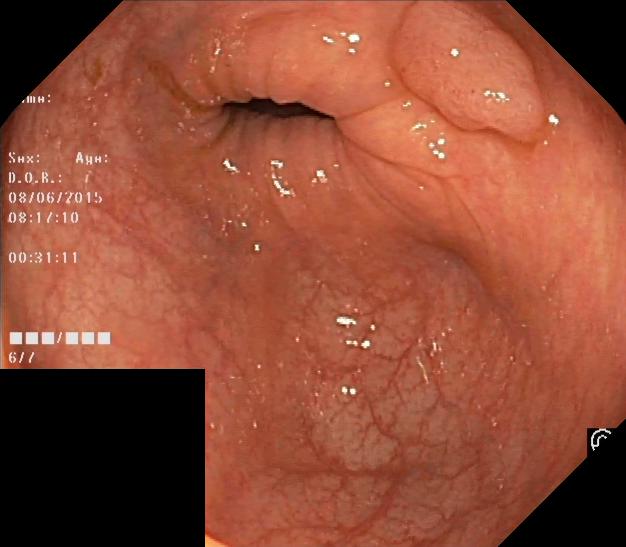Colorectal polyp(s).